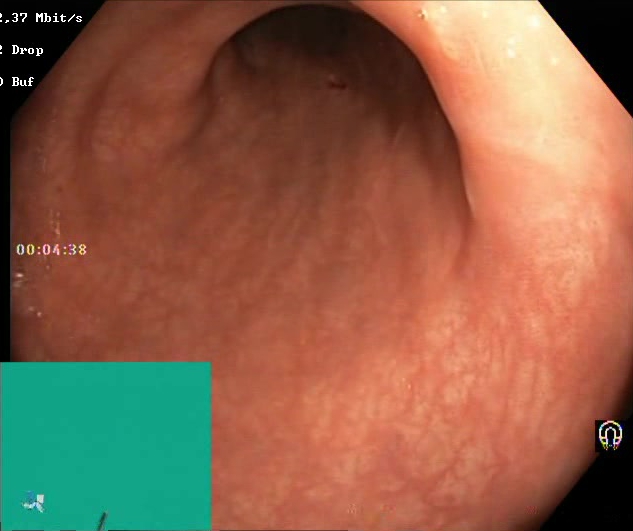PROCEDURE: Lower-GI endoscopy.
FINDINGS: BBPS score 2–3 (adequate preparation).